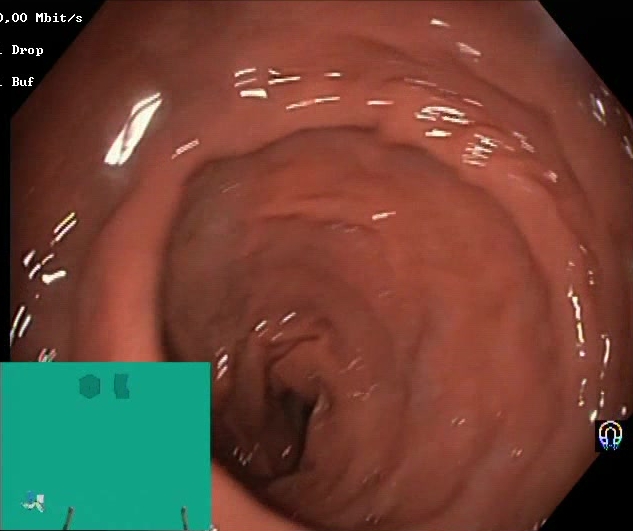modality: lower gastrointestinal endoscopy
tract: lower GI tract
finding: BBPS score 2–3 (adequate preparation)